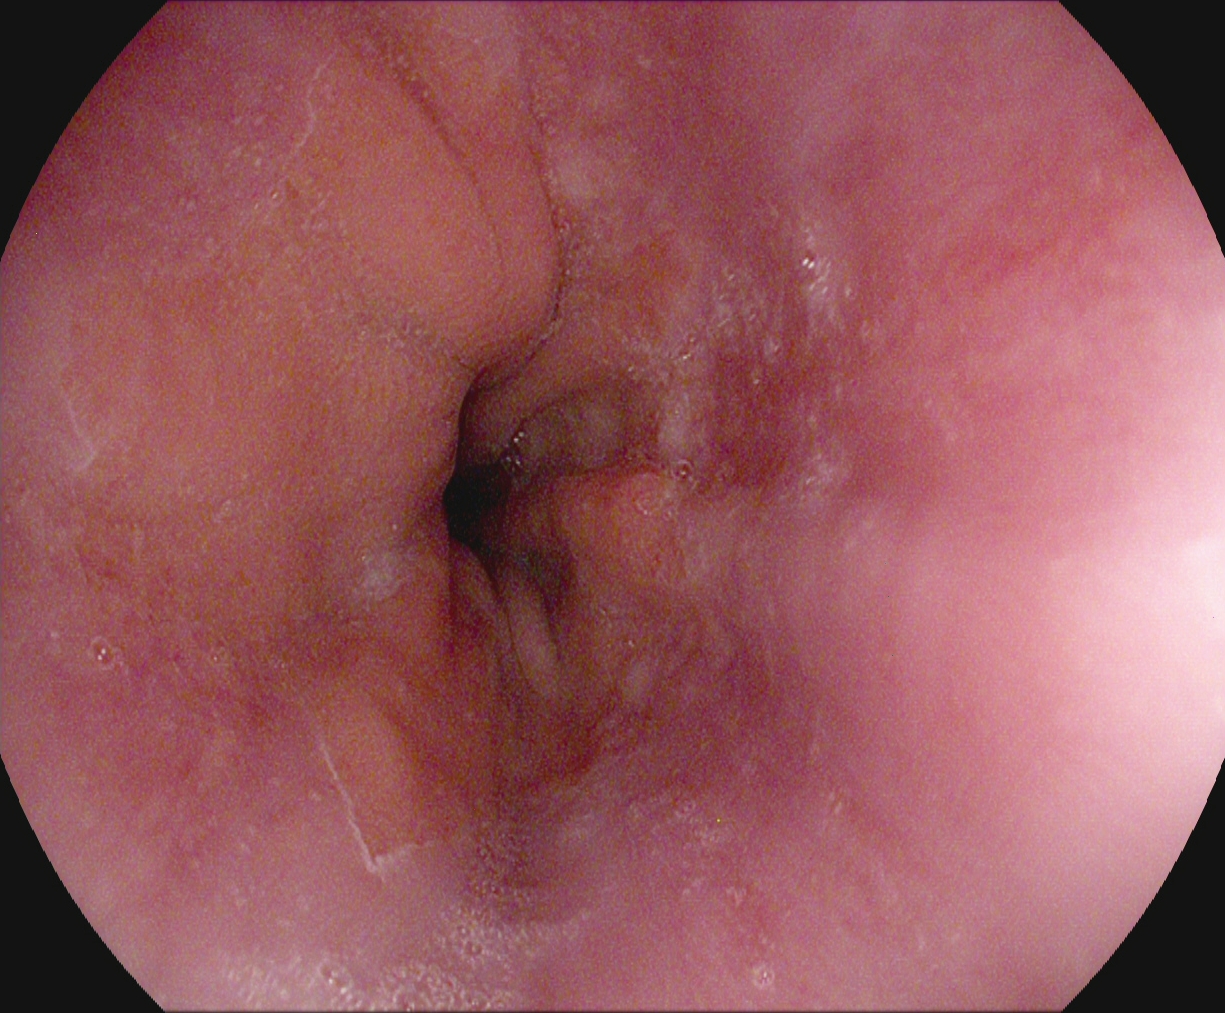Z-line (gastroesophageal junction).